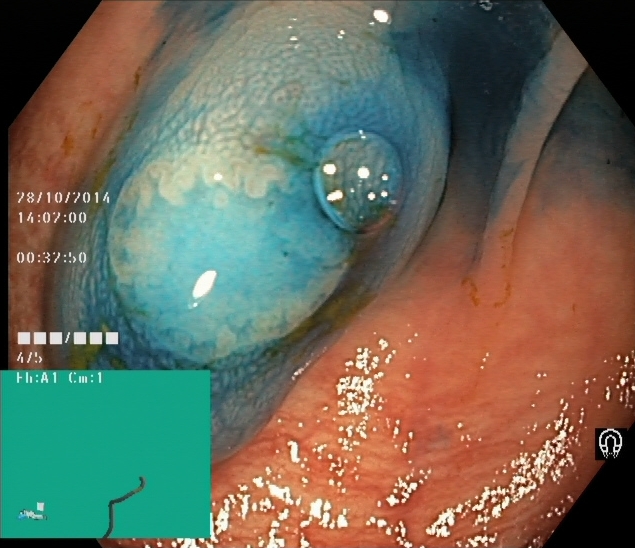Lower gastrointestinal endoscopy. Therapeutic intervention. Finding: dyed and lifted polyp (pre-resection).